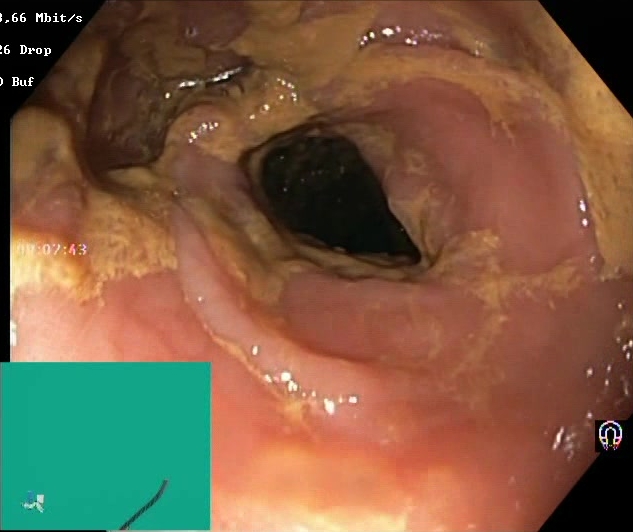BBPS score 0–1 (inadequate preparation).